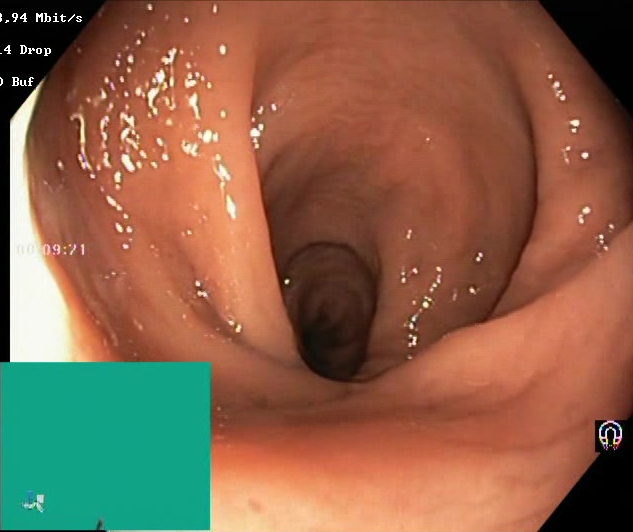{"modality": "lower gastrointestinal endoscopy", "finding": "Boston Bowel Preparation Scale score 2\u20133 (adequate preparation)"}